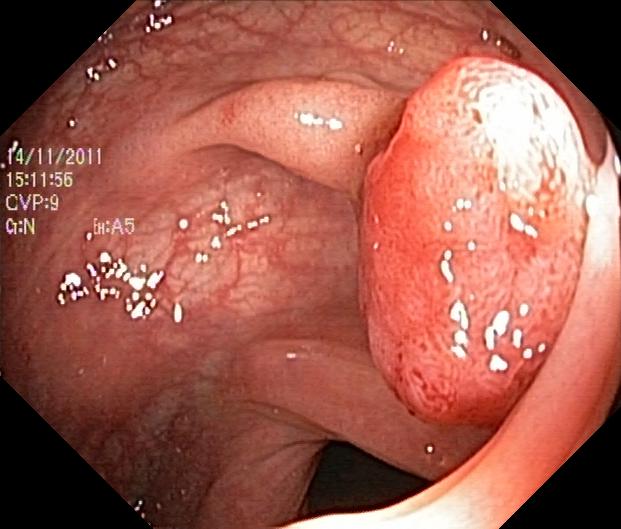PROCEDURE: Lower gastrointestinal endoscopy.
CATEGORY: Pathological finding.
FINDINGS: Colorectal polyp(s).